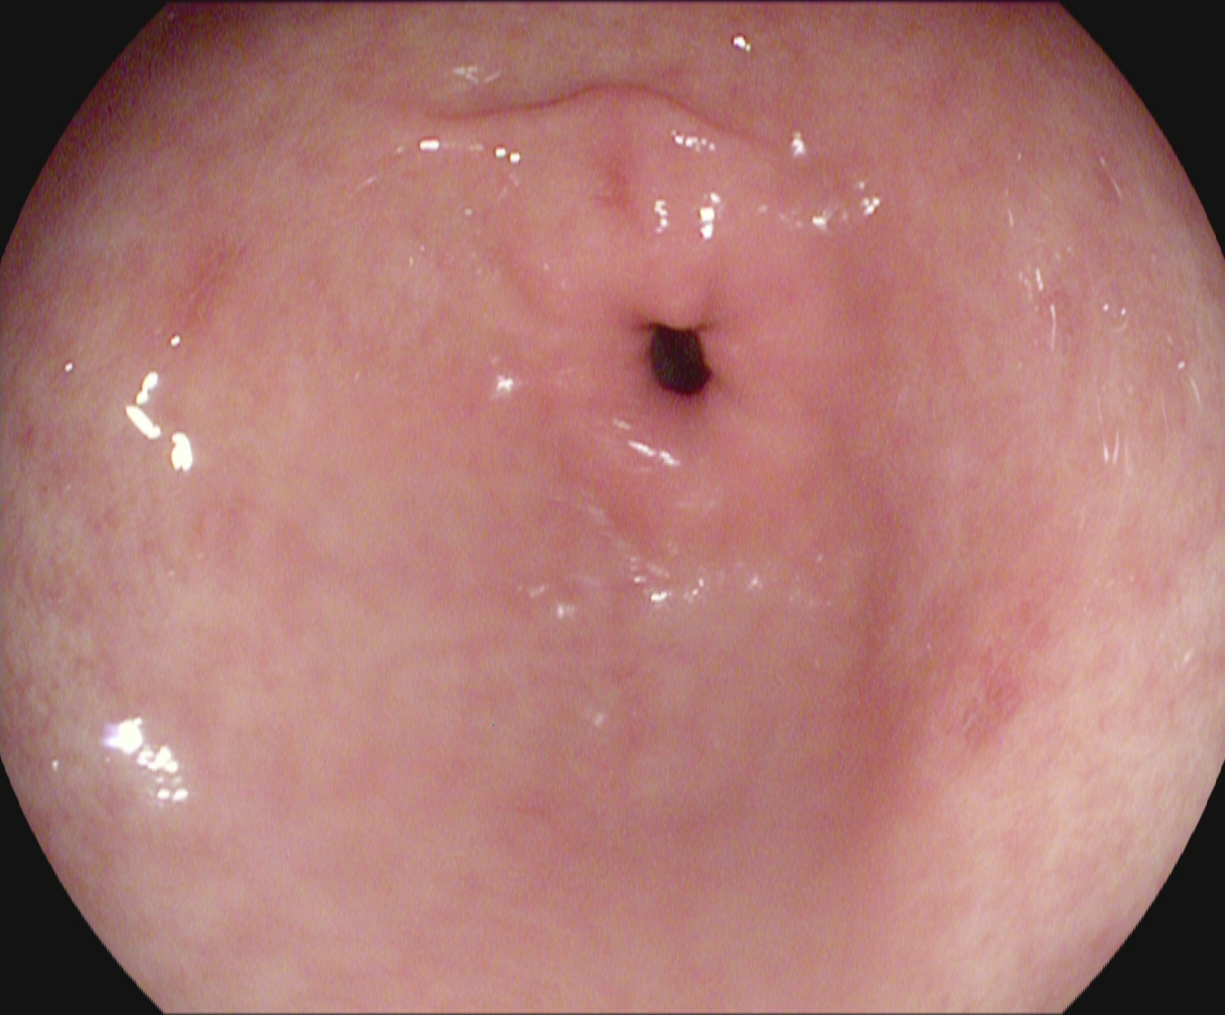Gastroscopy — pylorus.